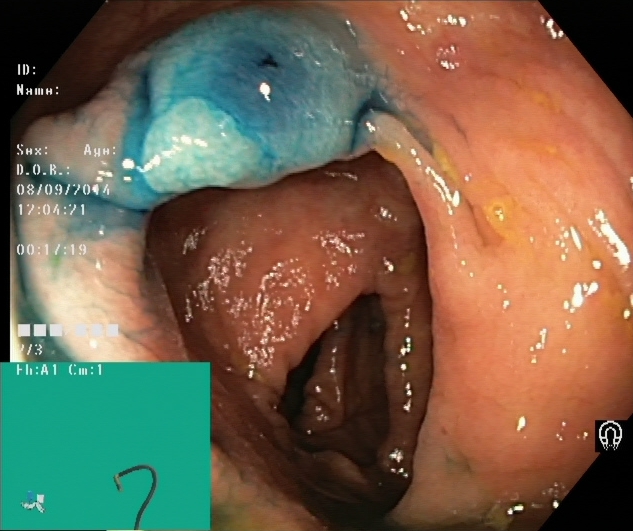PROCEDURE: Lower gastrointestinal endoscopy.
CATEGORY: Therapeutic intervention.
FINDINGS: Dyed and lifted polyp (pre-resection).